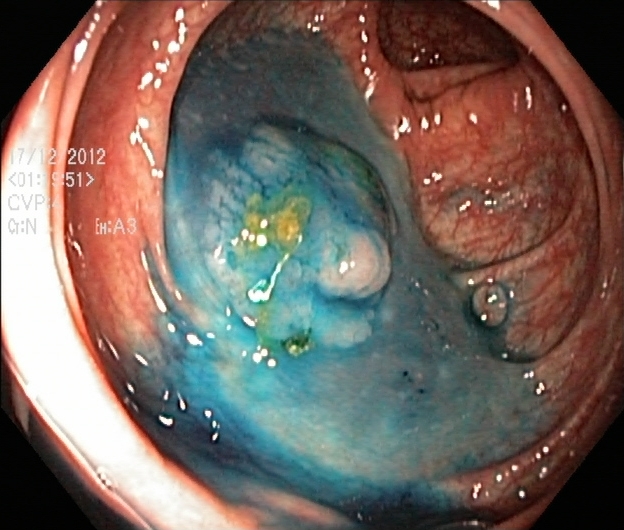Lower gastrointestinal endoscopy. Tract: lower GI tract. Therapeutic intervention. Finding: dyed and lifted polyp (pre-resection).